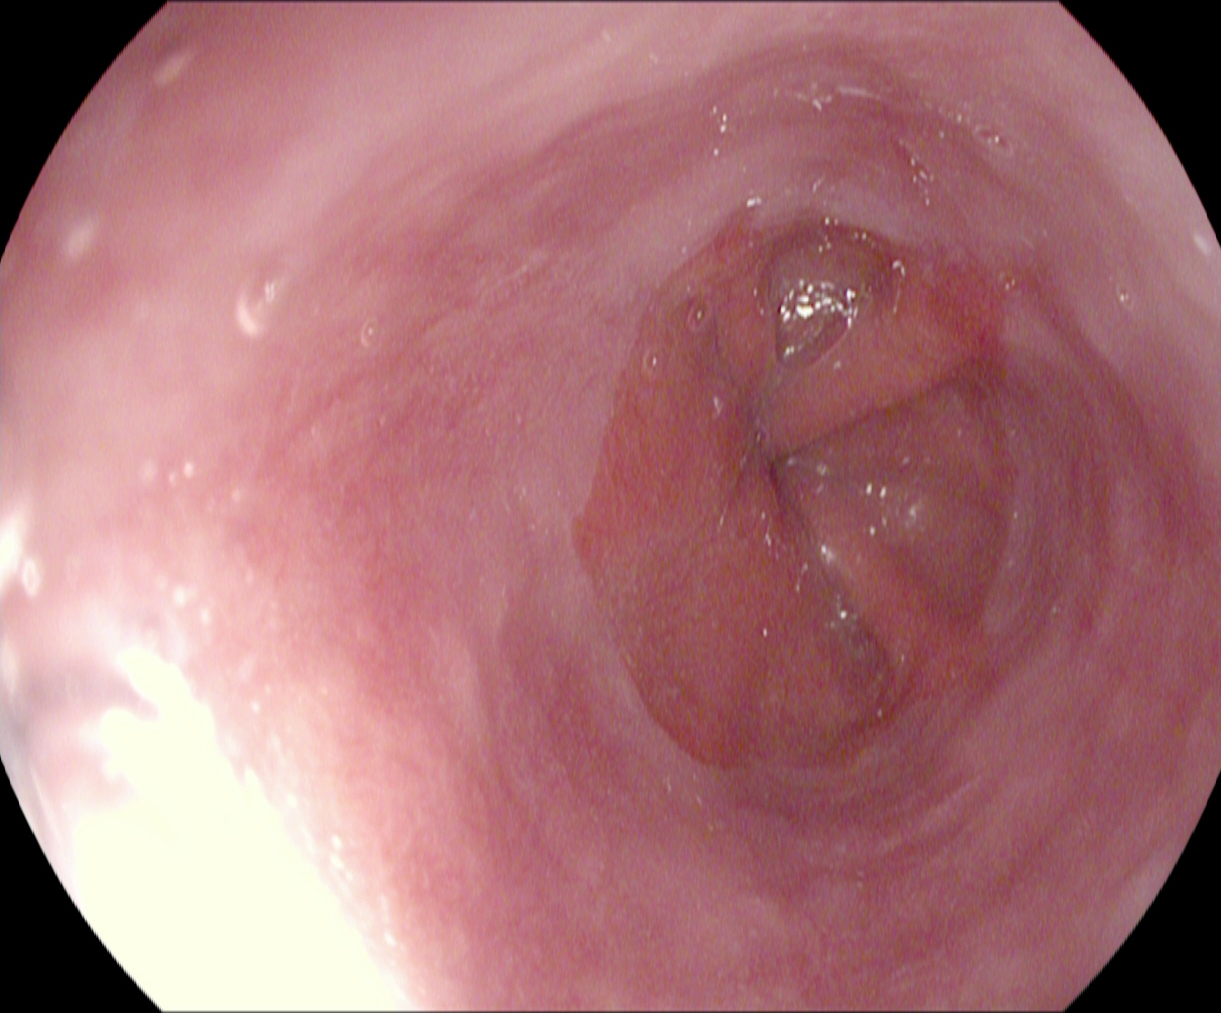modality: EGD; tract: upper GI tract; category: pathological finding; finding: reflux esophagitis, Los Angeles grade A